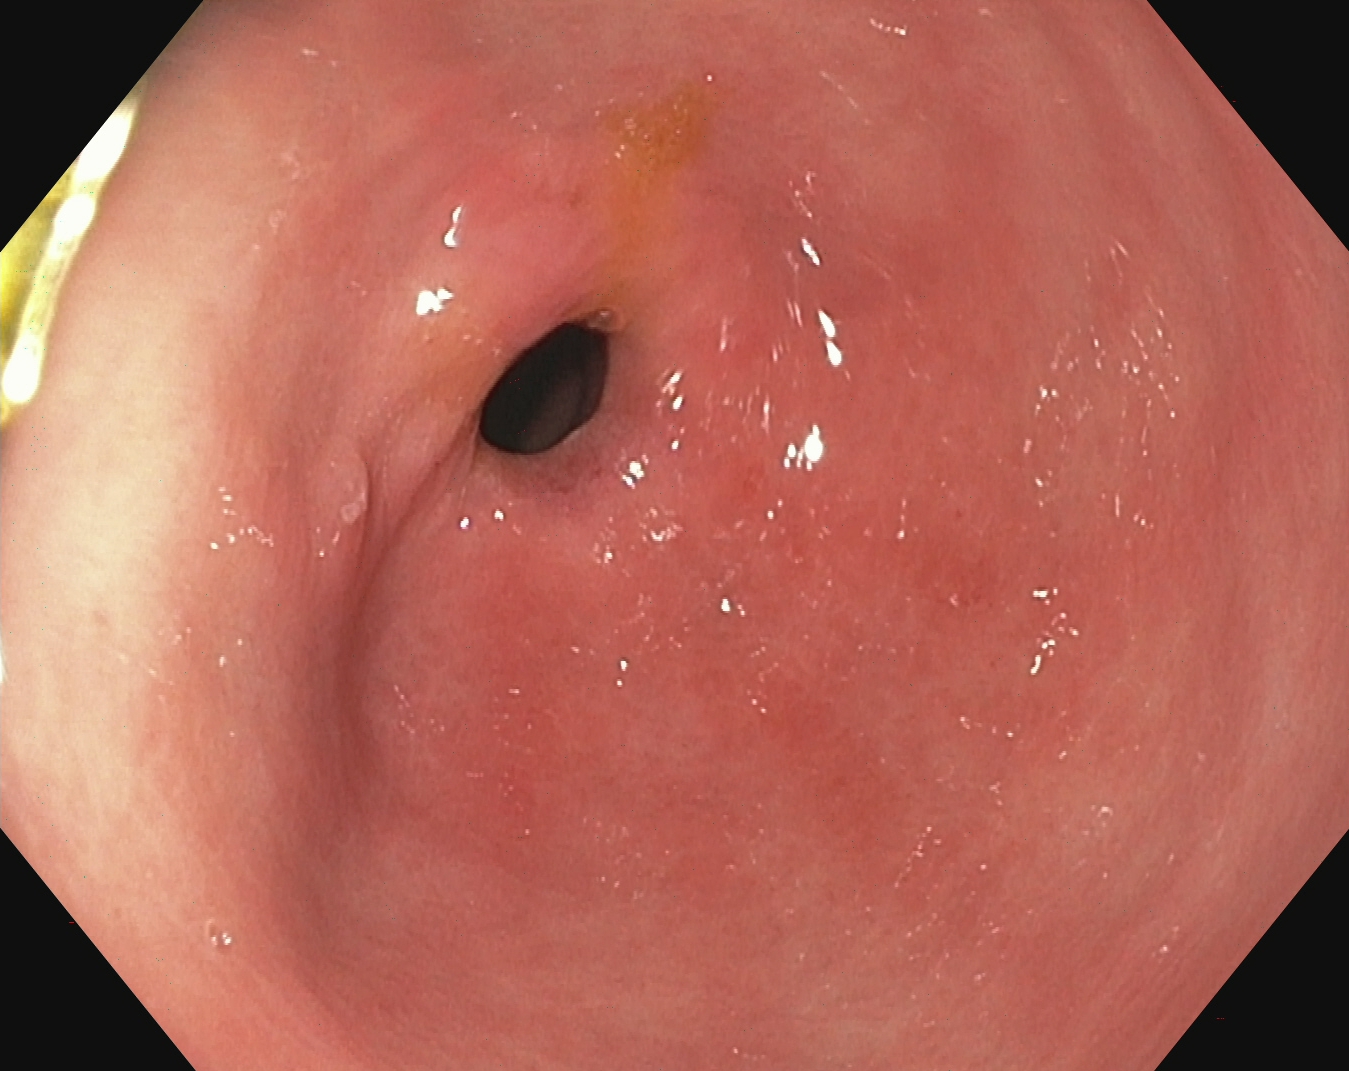Endoscopic image of the upper GI tract showing pylorus.